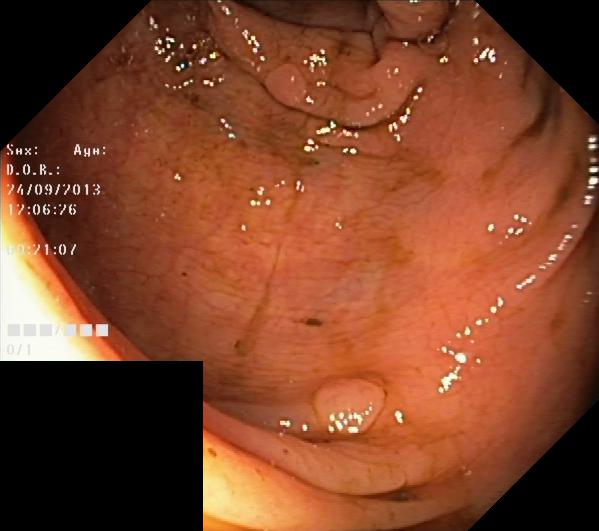This endoscopic image shows colorectal polyp(s).